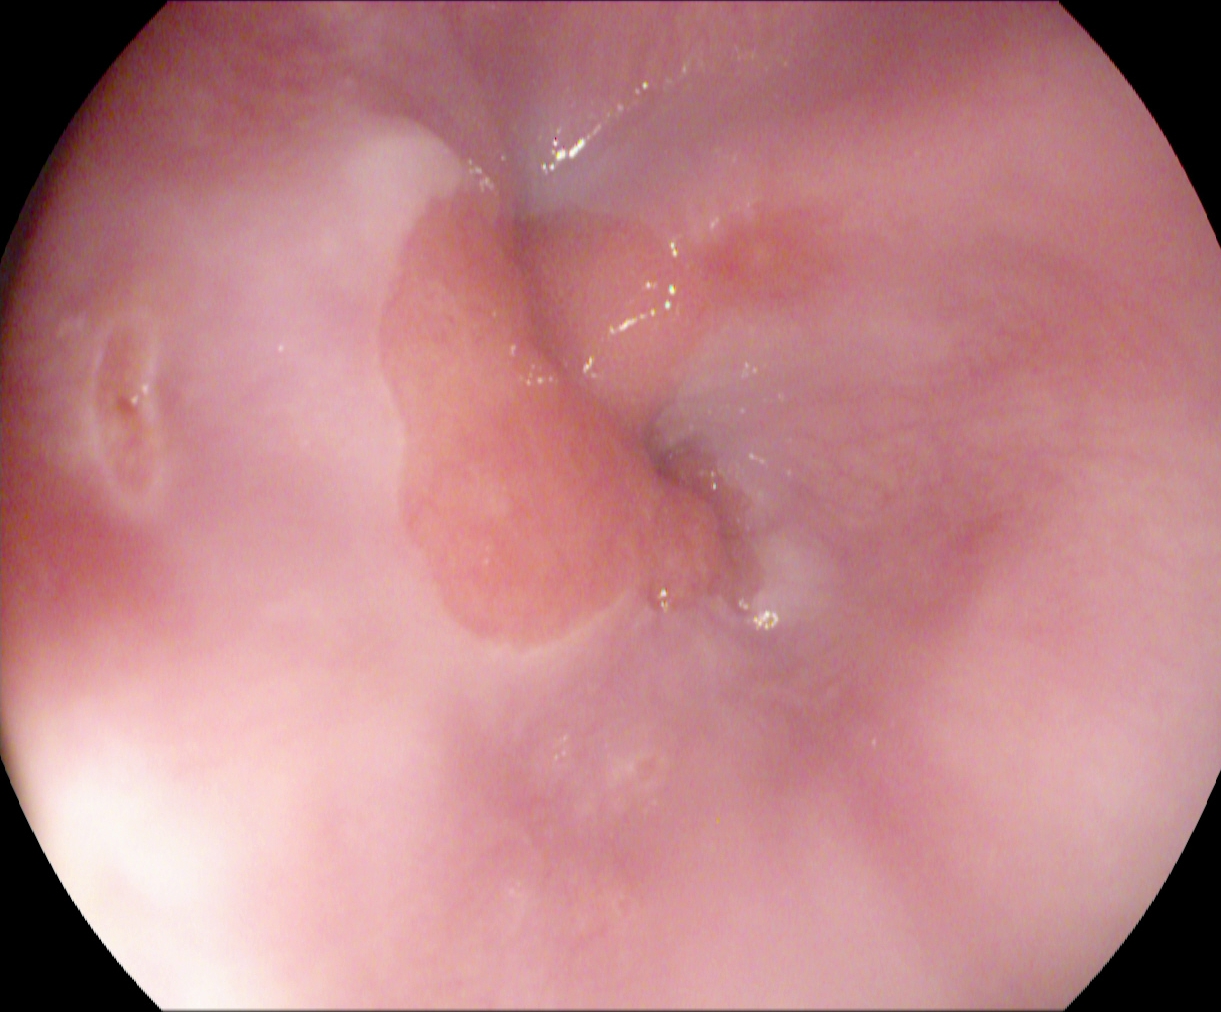Upper-GI endoscopy — Z-line (gastroesophageal junction).